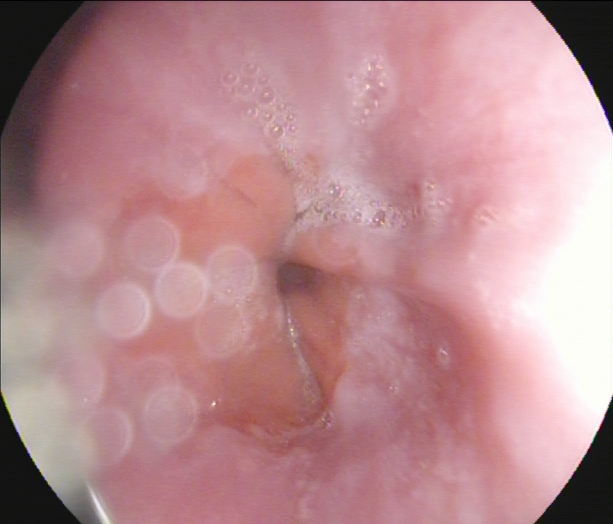Z-line (gastroesophageal junction).